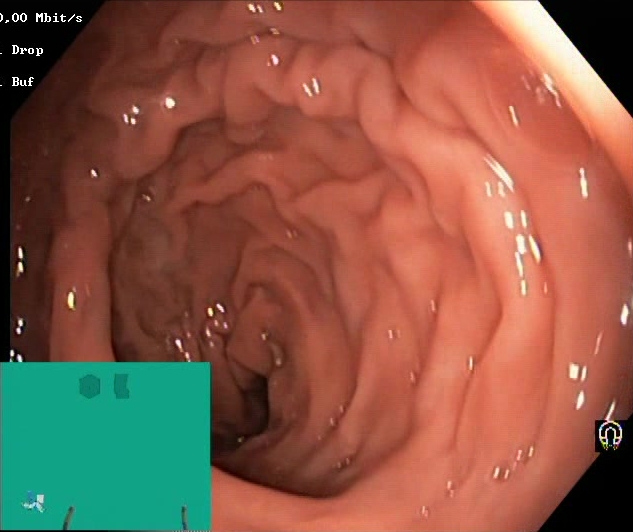Lower gastrointestinal endoscopy. Finding: Boston Bowel Preparation Scale score 2–3 (adequate preparation).